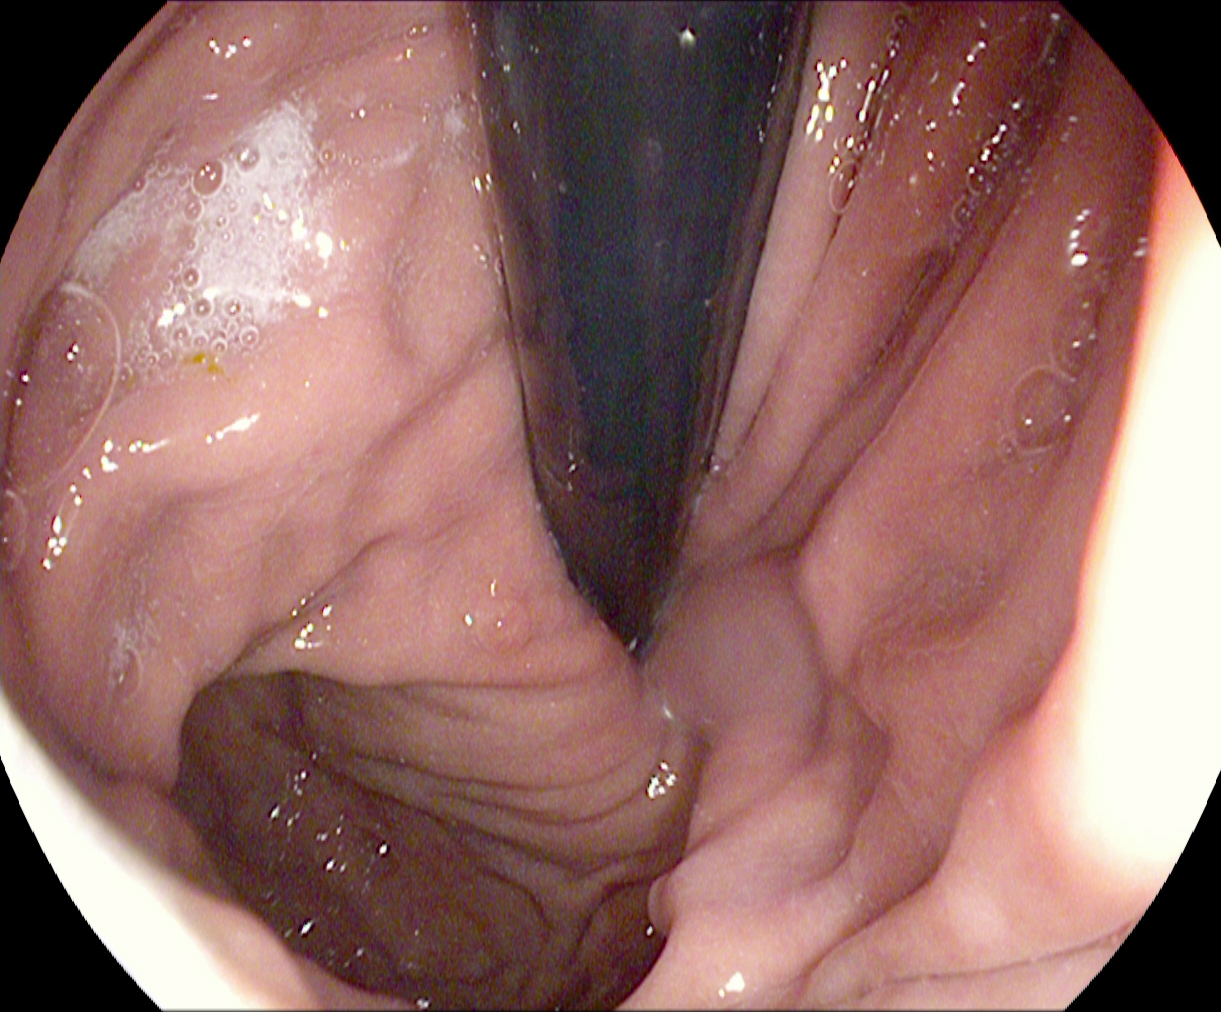modality: esophagogastroduodenoscopy; category: anatomical landmark; finding: stomach in retroflexion